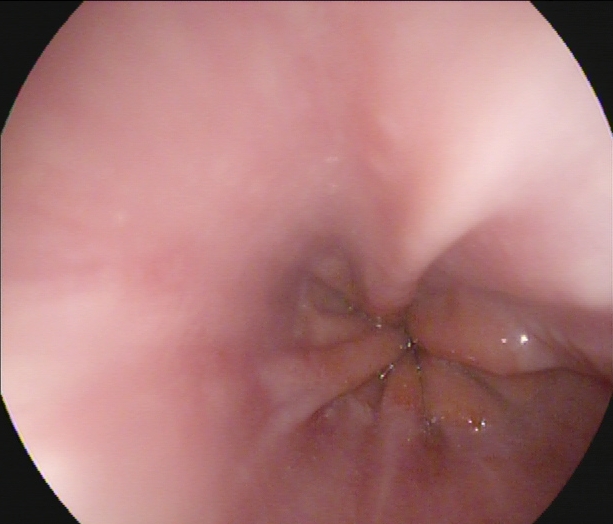Gastroscopy. Finding: Z-line (gastroesophageal junction).